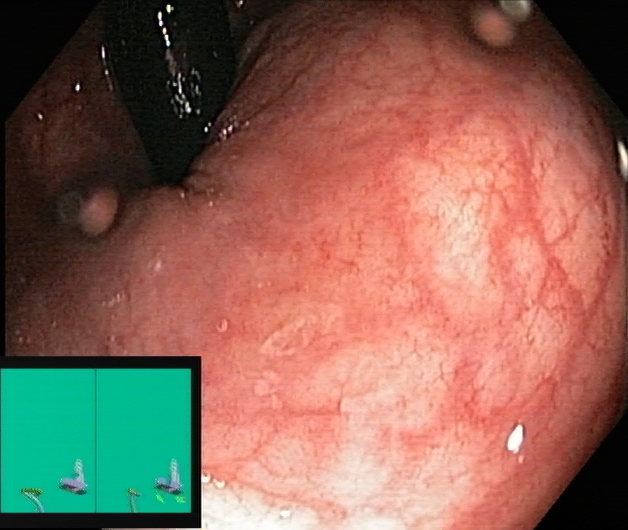PROCEDURE: Lower gastrointestinal endoscopy.
CATEGORY: Anatomical landmark.
FINDINGS: Rectum in retroflexion.